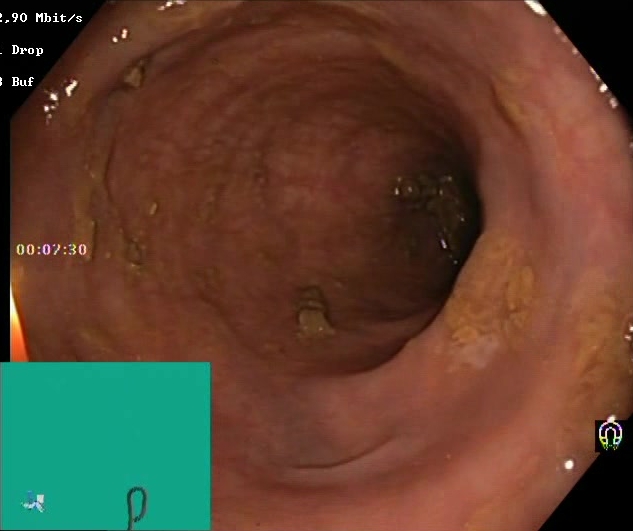PROCEDURE: Lower-GI endoscopy.
CATEGORY: Mucosal-view quality.
FINDINGS: Boston Bowel Preparation Scale score 2–3 (adequate preparation).